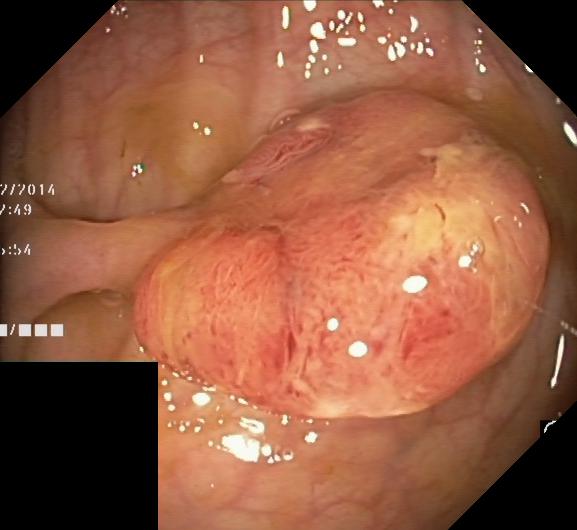Lower-GI endoscopy — colorectal polyp(s).